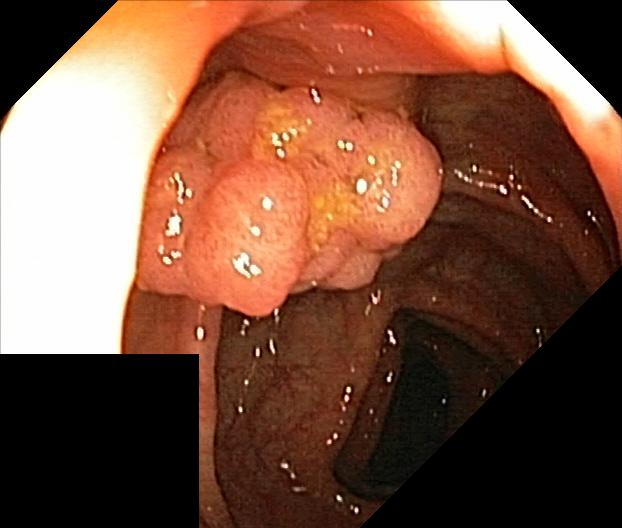PROCEDURE: Colonoscopy.
FINDINGS: Colorectal polyp(s).